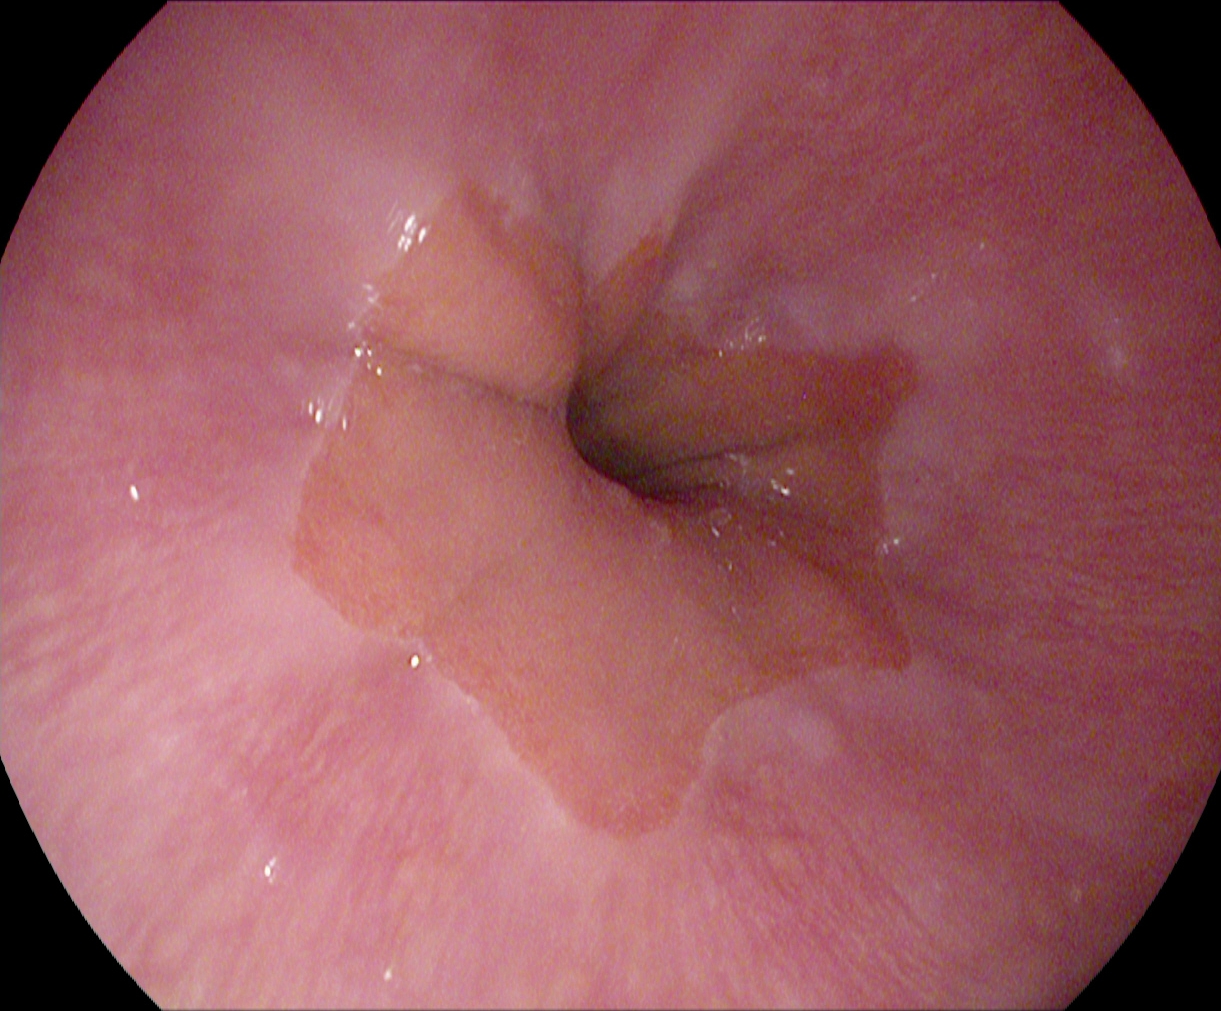Gastroscopy. Tract: upper GI tract. Finding: Z-line (gastroesophageal junction).